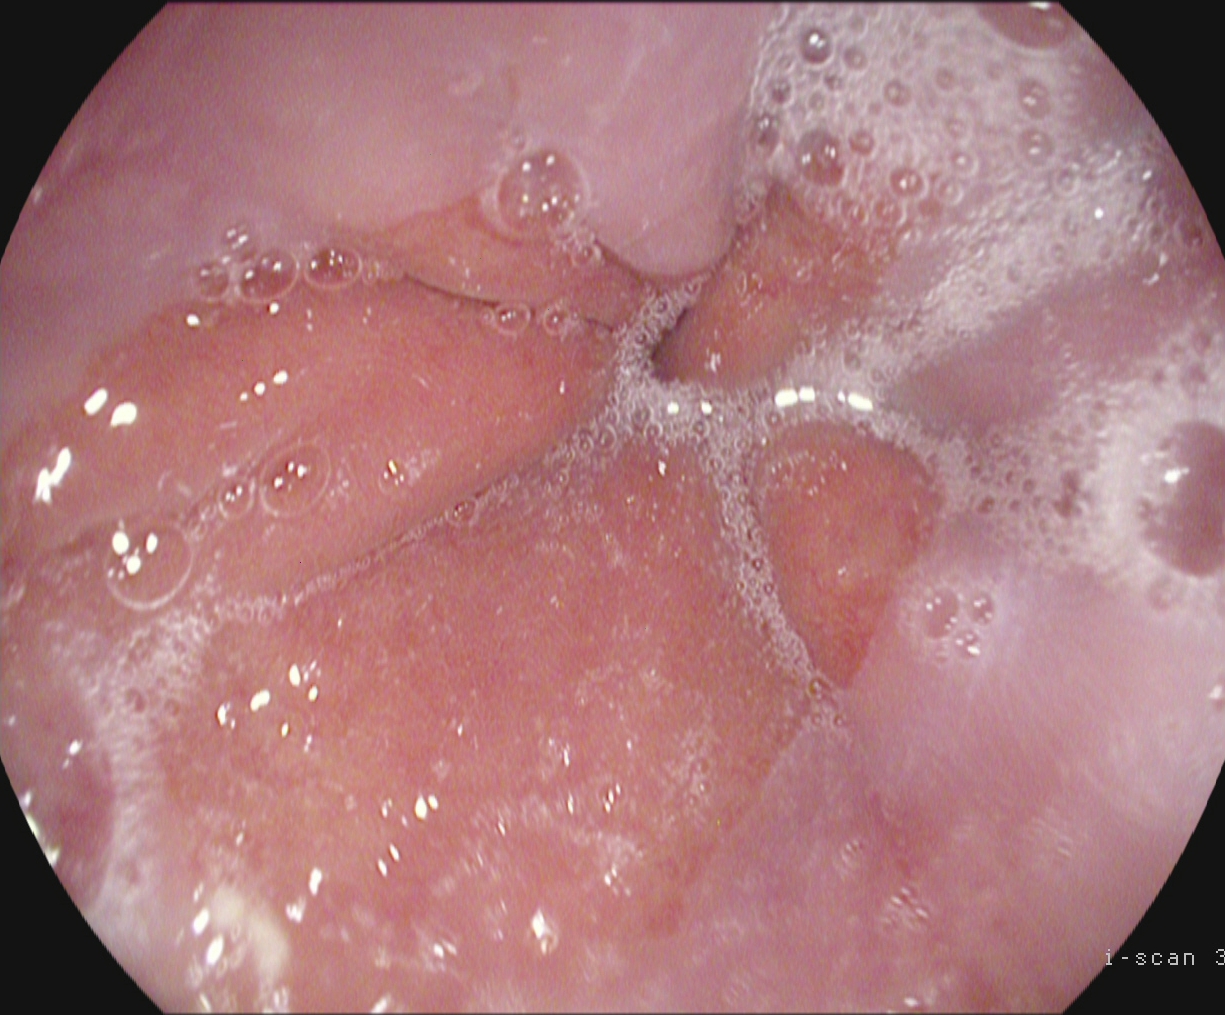{"modality": "upper-GI endoscopy", "tract": "upper GI tract", "category": "anatomical landmark", "finding": "Z-line (gastroesophageal junction)"}